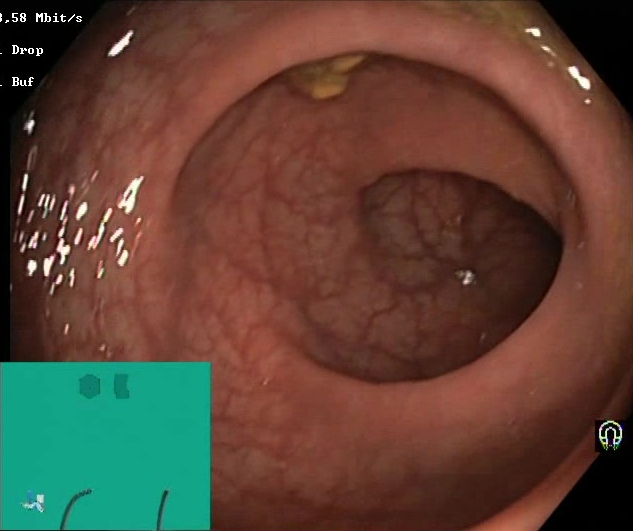{"modality": "lower gastrointestinal endoscopy", "tract": "lower GI tract", "finding": "BBPS score 2\u20133 (adequate preparation)"}